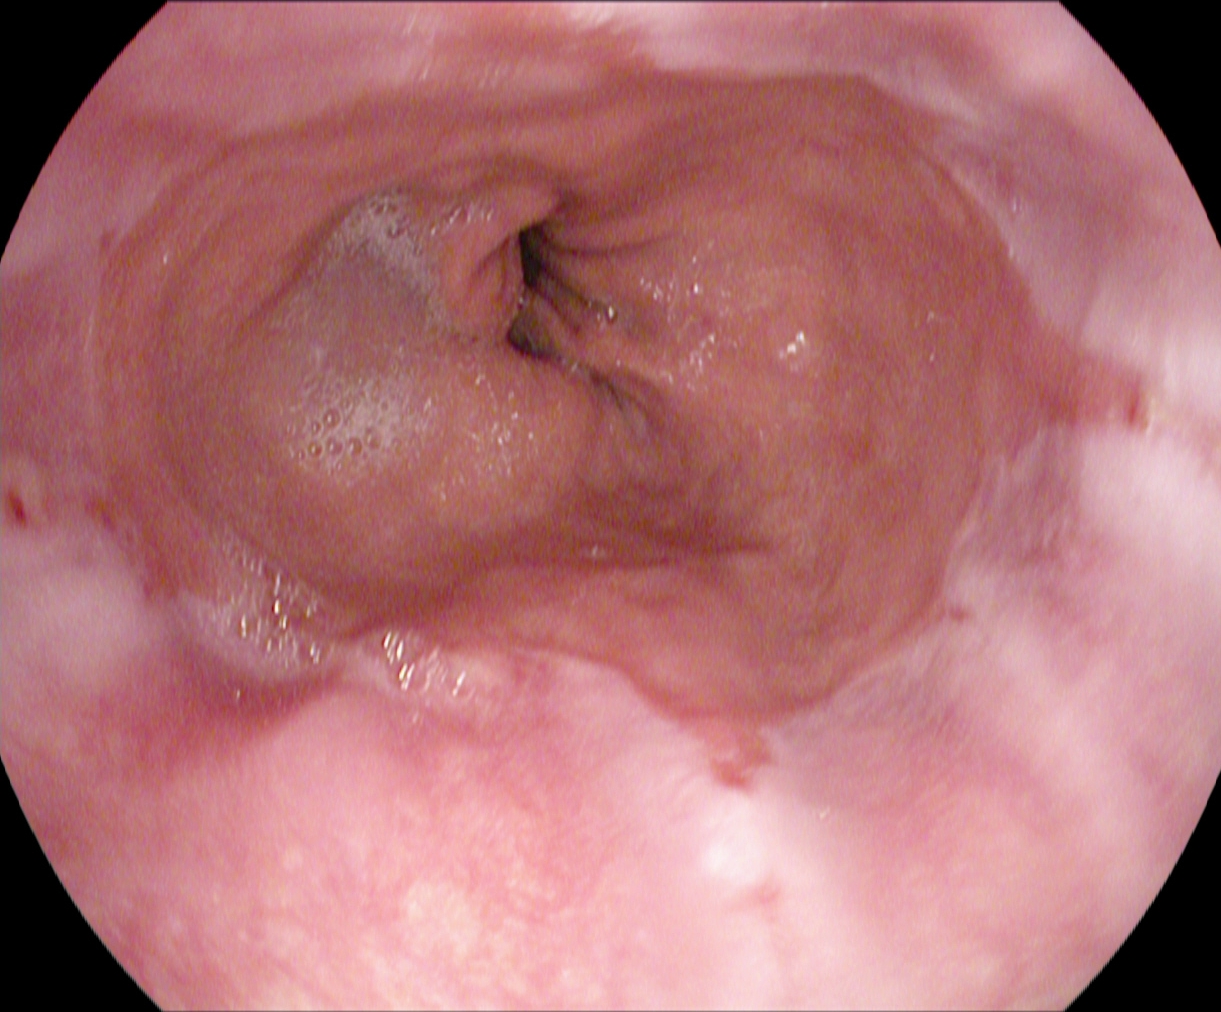Gastroscopy — reflux esophagitis, Los Angeles grade A.